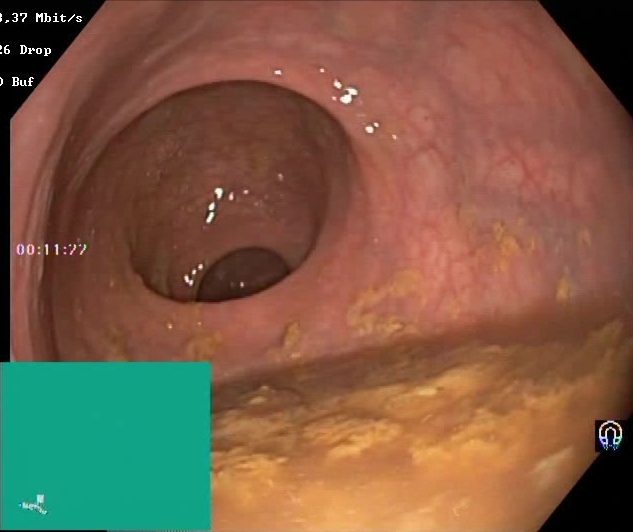Lower-GI endoscopy. Tract: lower GI tract. Finding: Boston Bowel Preparation Scale score 0–1 (inadequate preparation).